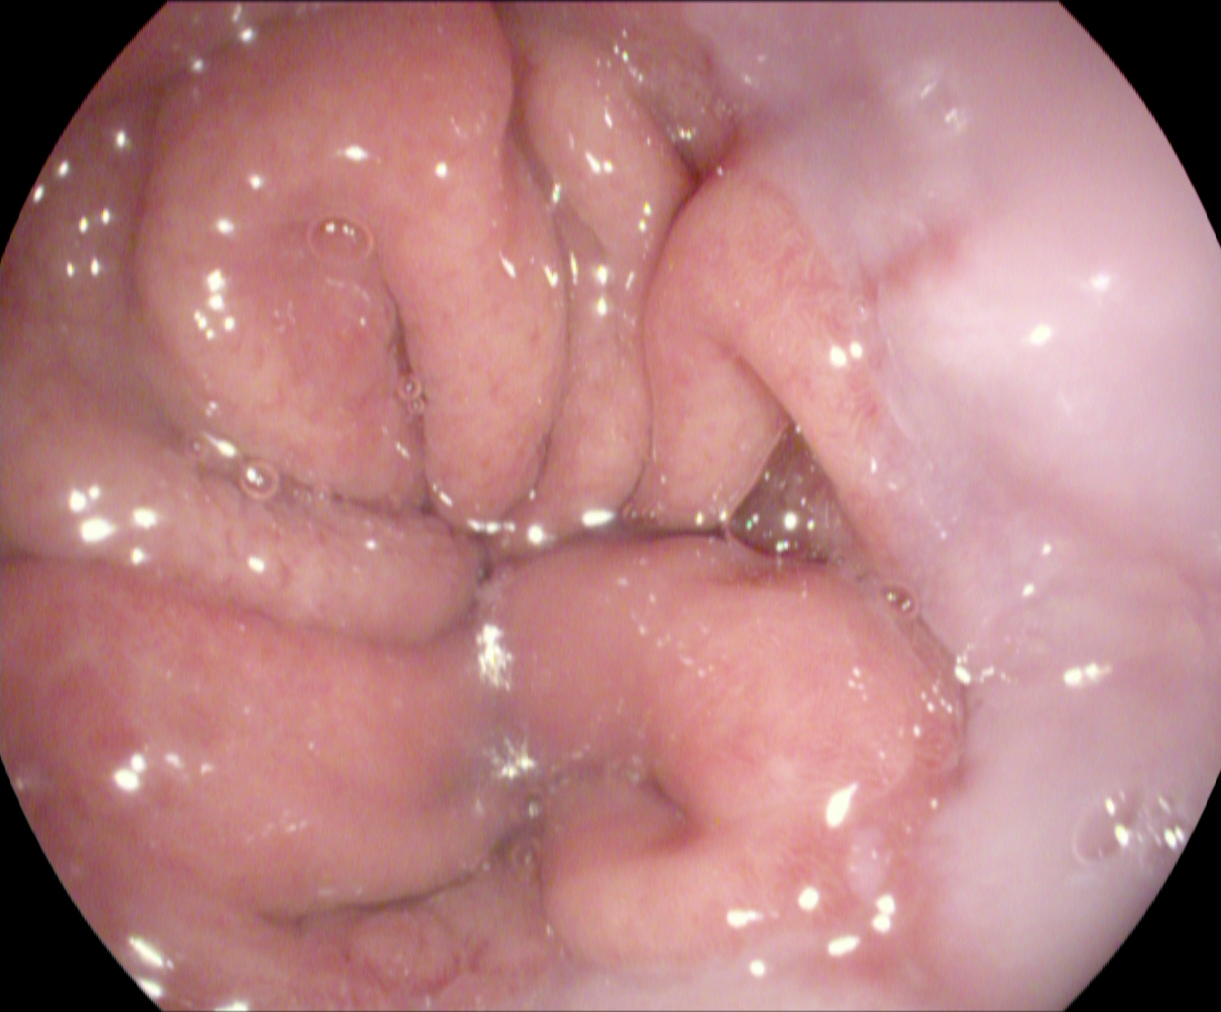PROCEDURE: Esophagogastroduodenoscopy.
CATEGORY: Pathological finding.
FINDINGS: Reflux esophagitis, Los Angeles grade A.